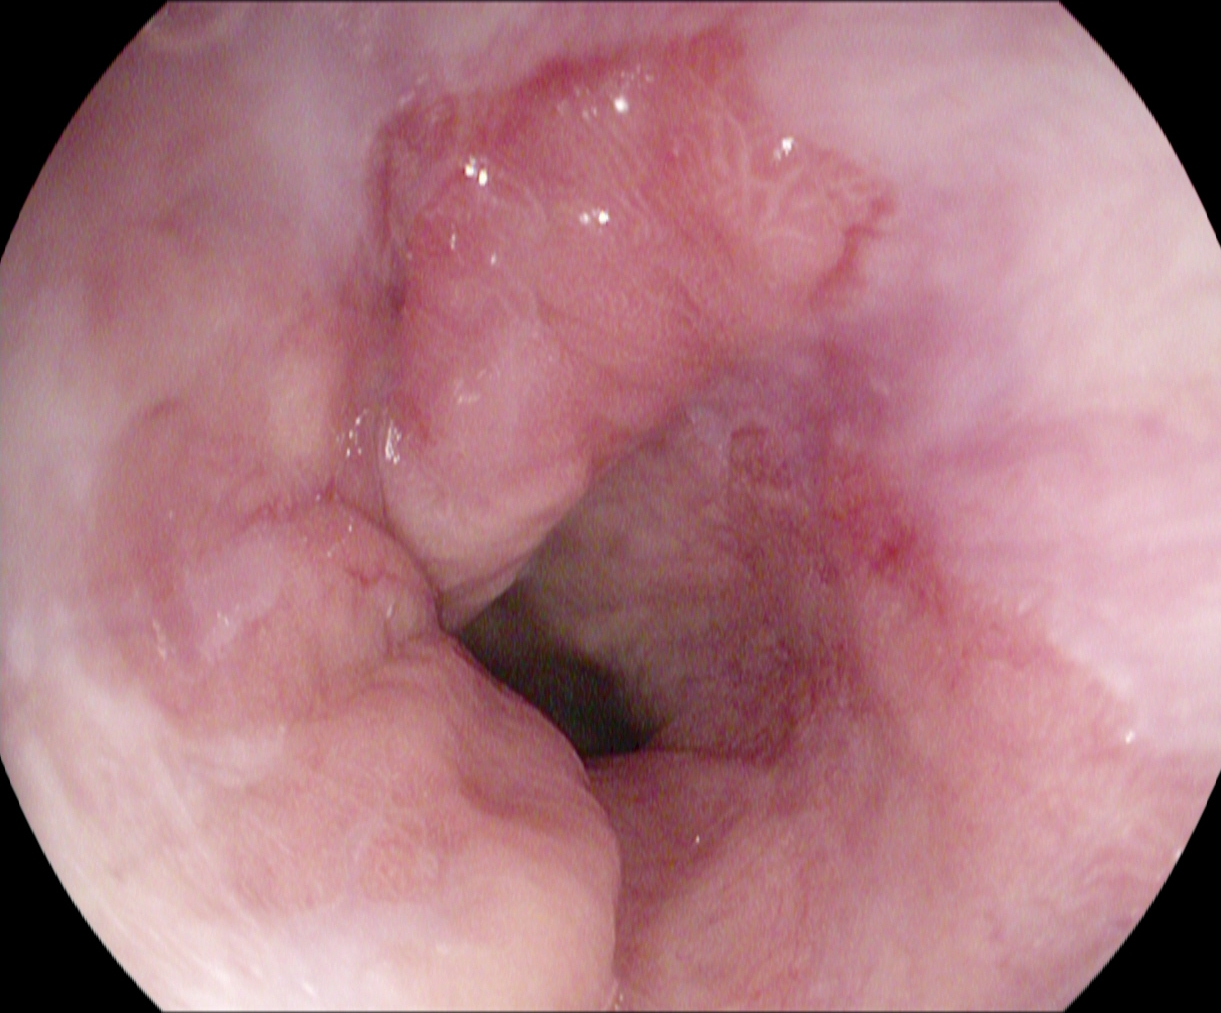{"modality": "esophagogastroduodenoscopy", "tract": "upper GI tract", "category": "pathological finding", "finding": "reflux esophagitis, Los Angeles grade A"}